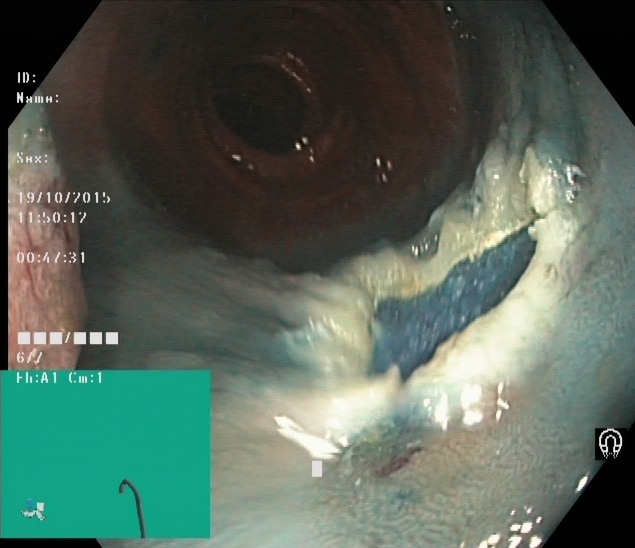modality: colonoscopy
tract: lower GI tract
finding: dyed resection margins (post-polypectomy)